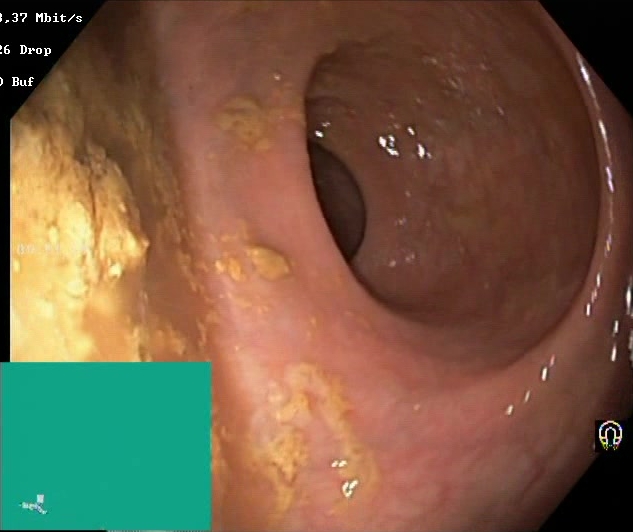This endoscopic image of the lower GI tract shows BBPS score 0–1 (inadequate preparation).